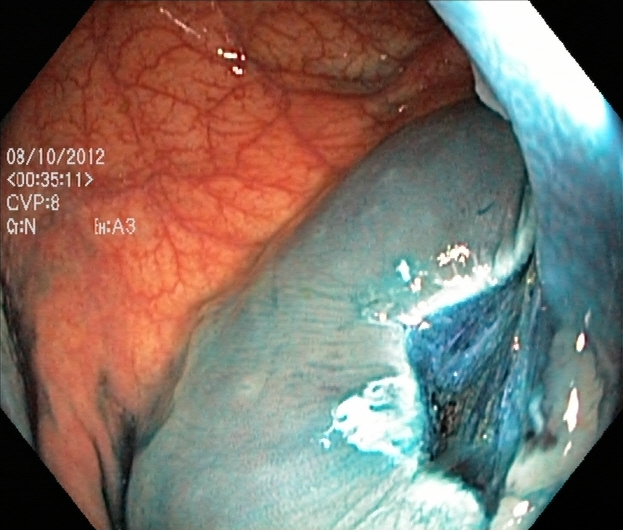This endoscopic image shows dyed resection margins (post-polypectomy).